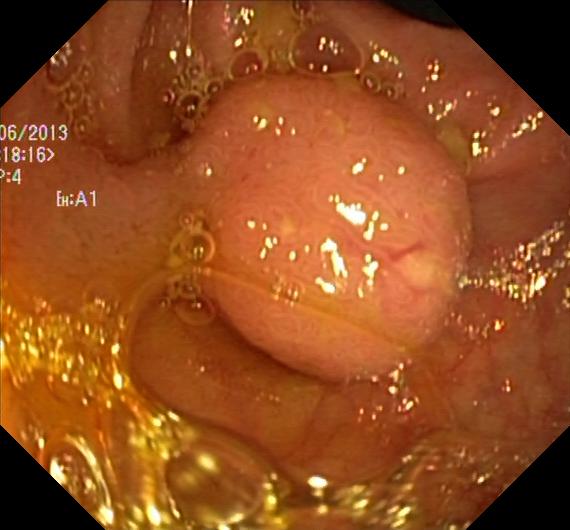Gastrointestinal endoscopy image of the lower GI tract showing colorectal polyp(s).